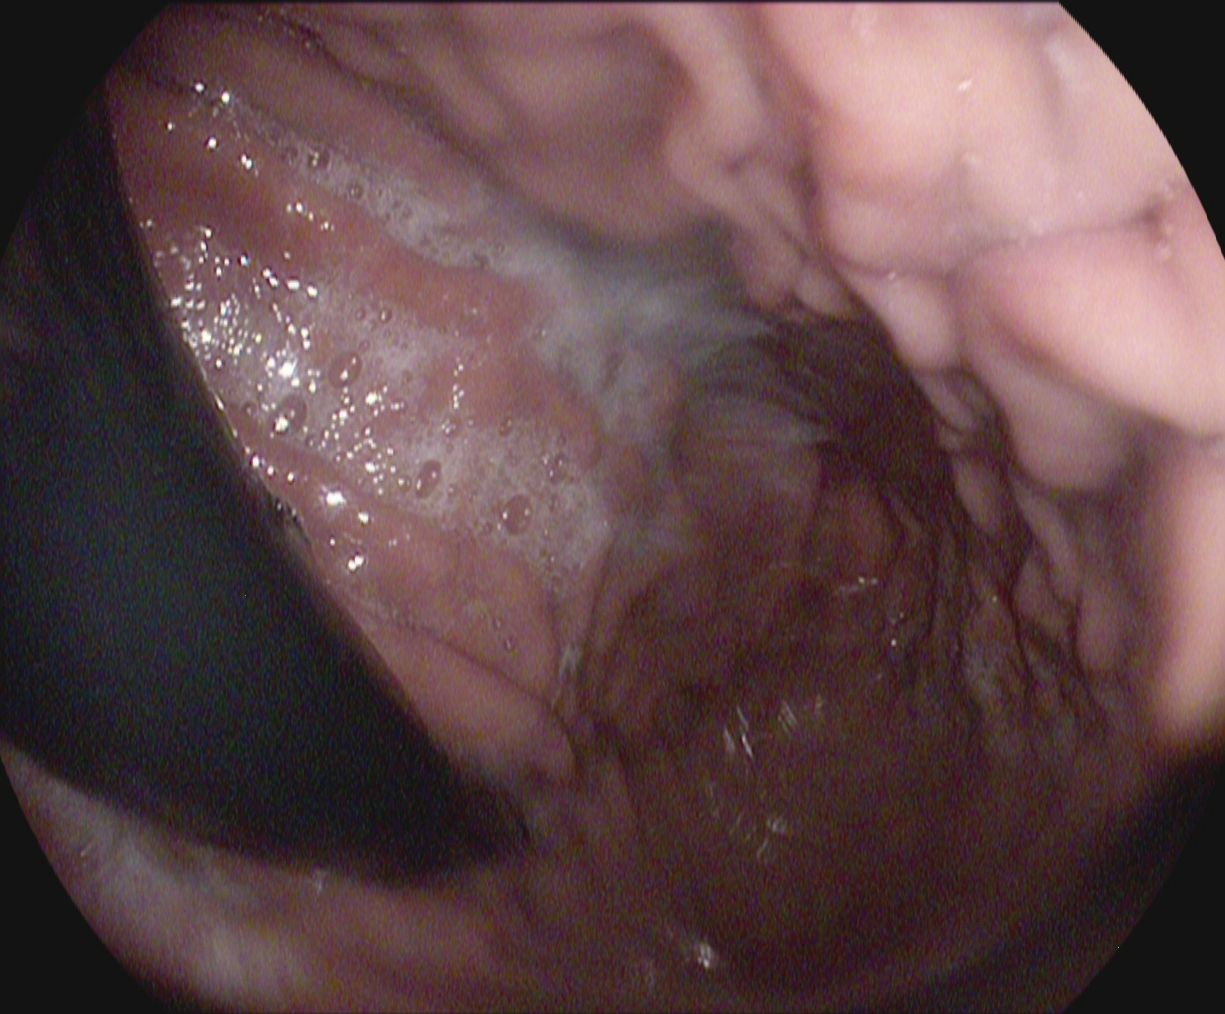PROCEDURE: Esophagogastroduodenoscopy.
FINDINGS: Stomach in retroflexion.